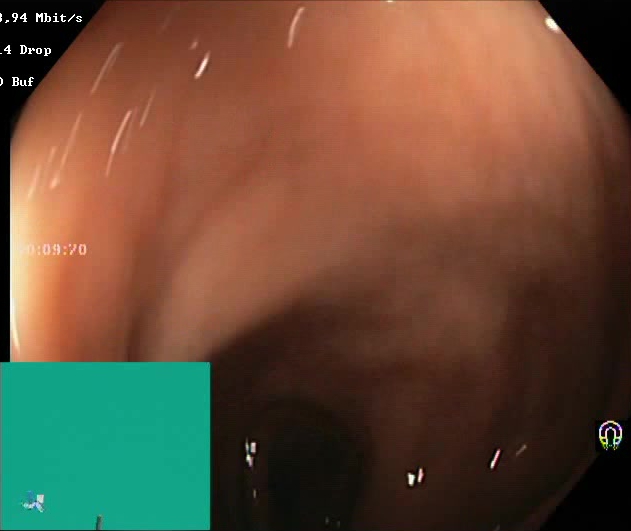Lower gastrointestinal endoscopy. Finding: BBPS score 2–3 (adequate preparation).